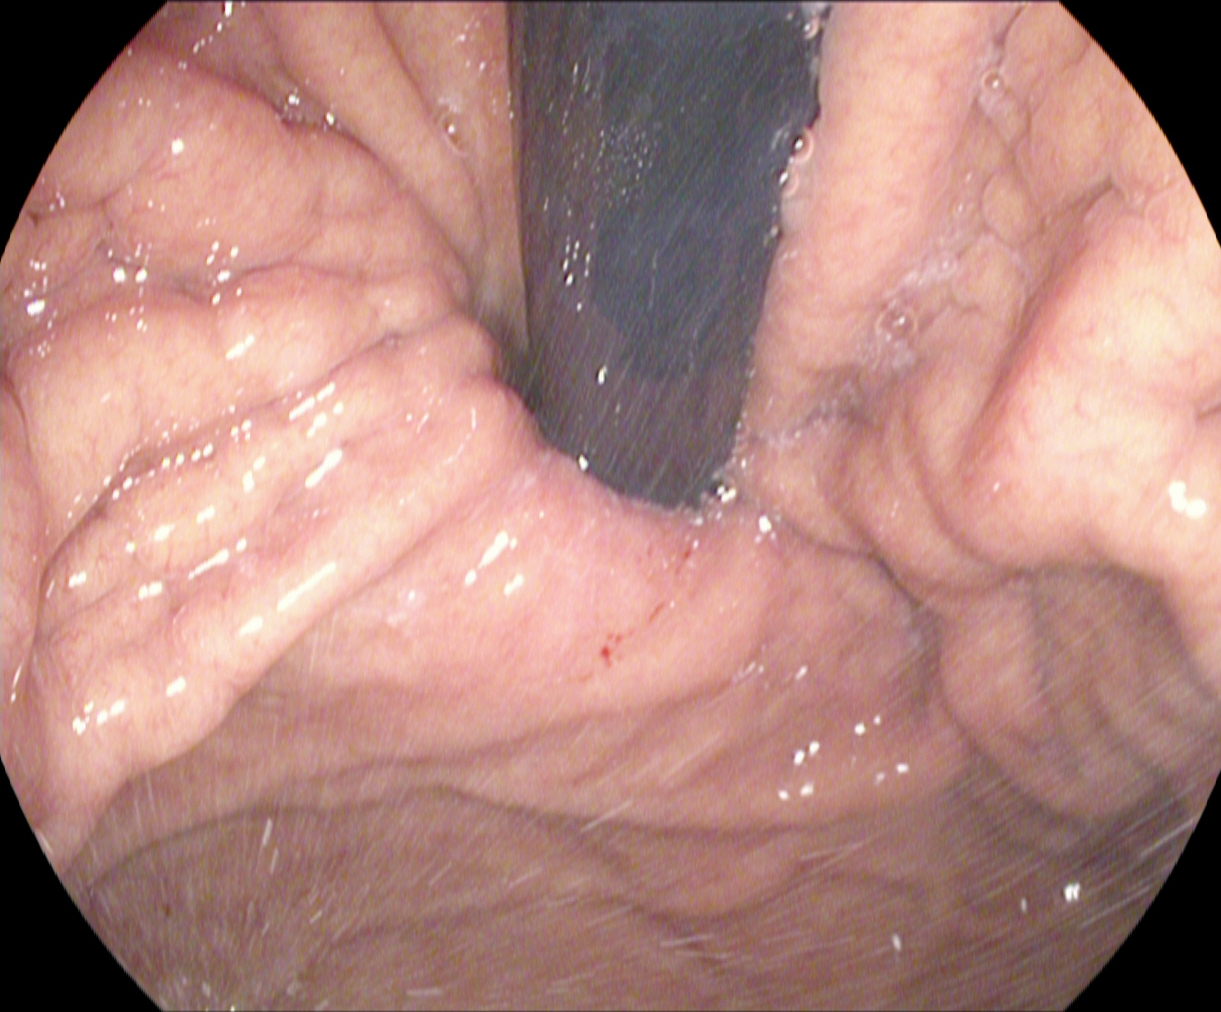Gastroscopy. Tract: upper GI tract. Finding: stomach in retroflexion.